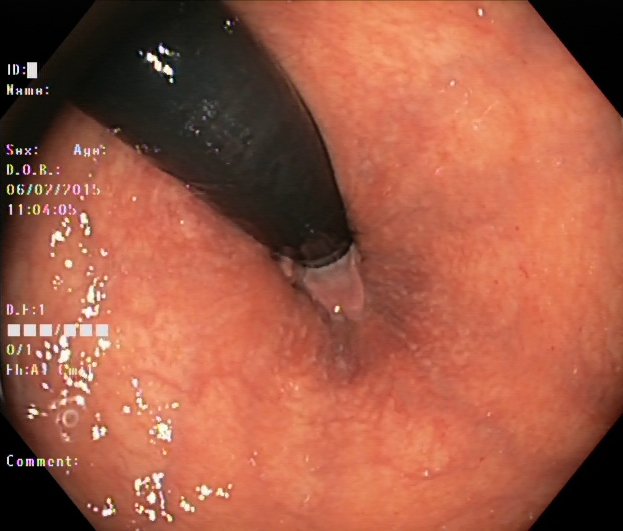modality: colonoscopy
tract: lower GI tract
category: anatomical landmark
finding: rectum in retroflexion